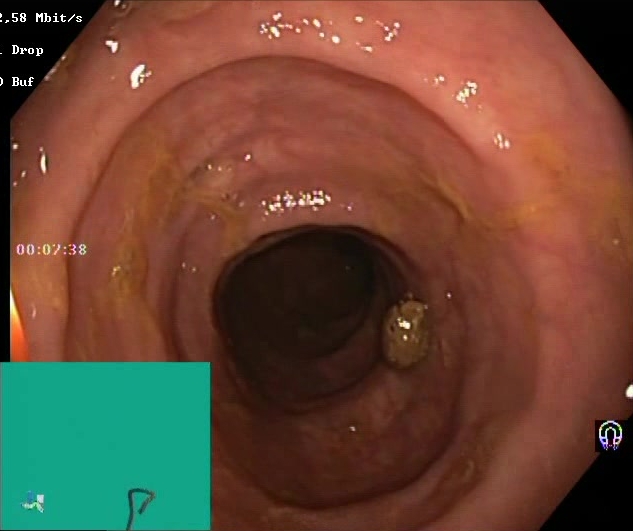PROCEDURE: Lower-GI endoscopy.
CATEGORY: Mucosal-view quality.
FINDINGS: Boston Bowel Preparation Scale score 2–3 (adequate preparation).